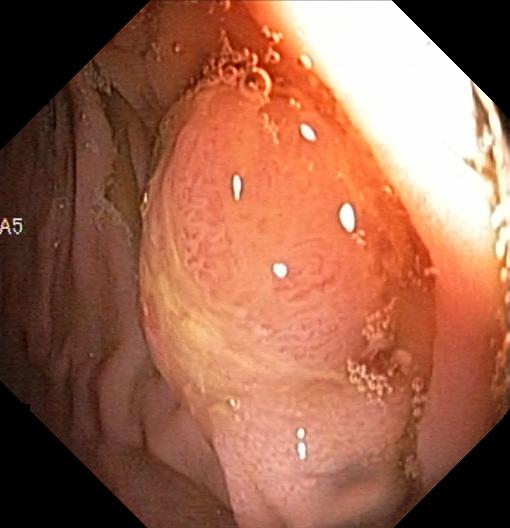This endoscopy frame of the lower GI tract shows colorectal polyp(s).